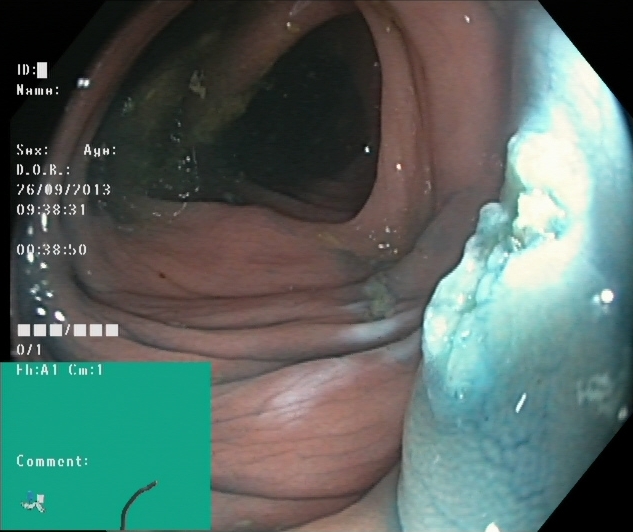Dyed resection margins (post-polypectomy).